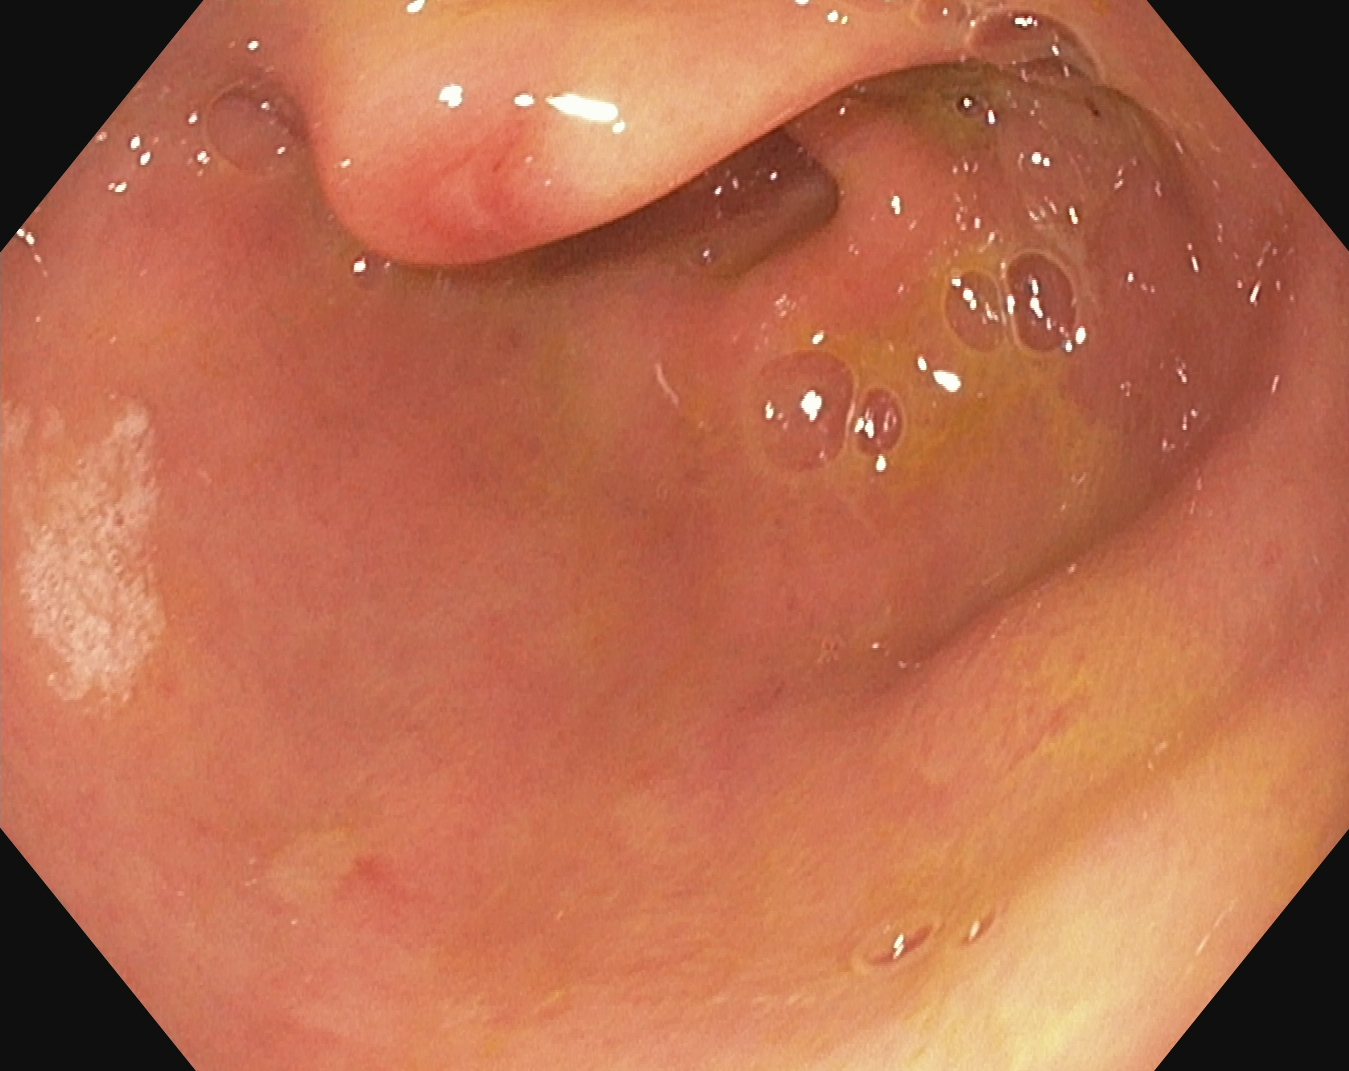Upper-GI endoscopy image of the upper GI tract showing pylorus.